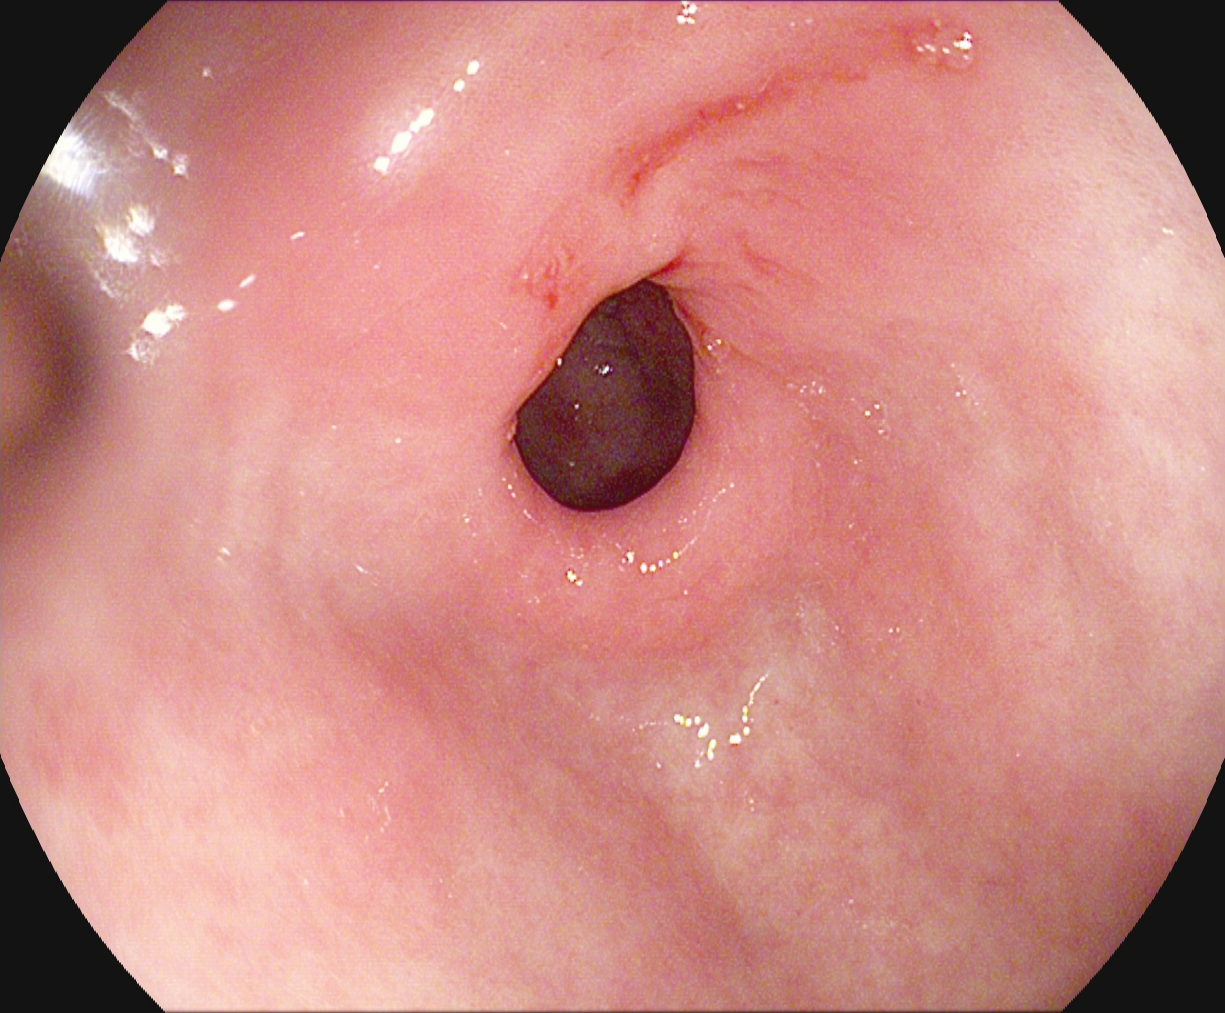PROCEDURE: Gastroscopy.
CATEGORY: Anatomical landmark.
FINDINGS: Pylorus.